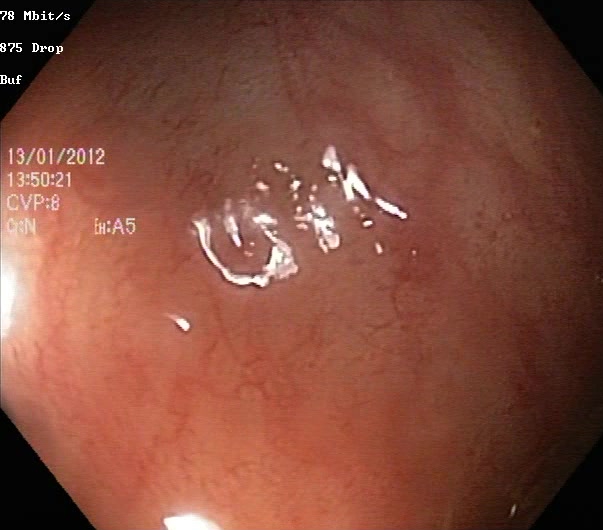This endoscopy frame shows UC, Mayo endoscopic subscore 1.